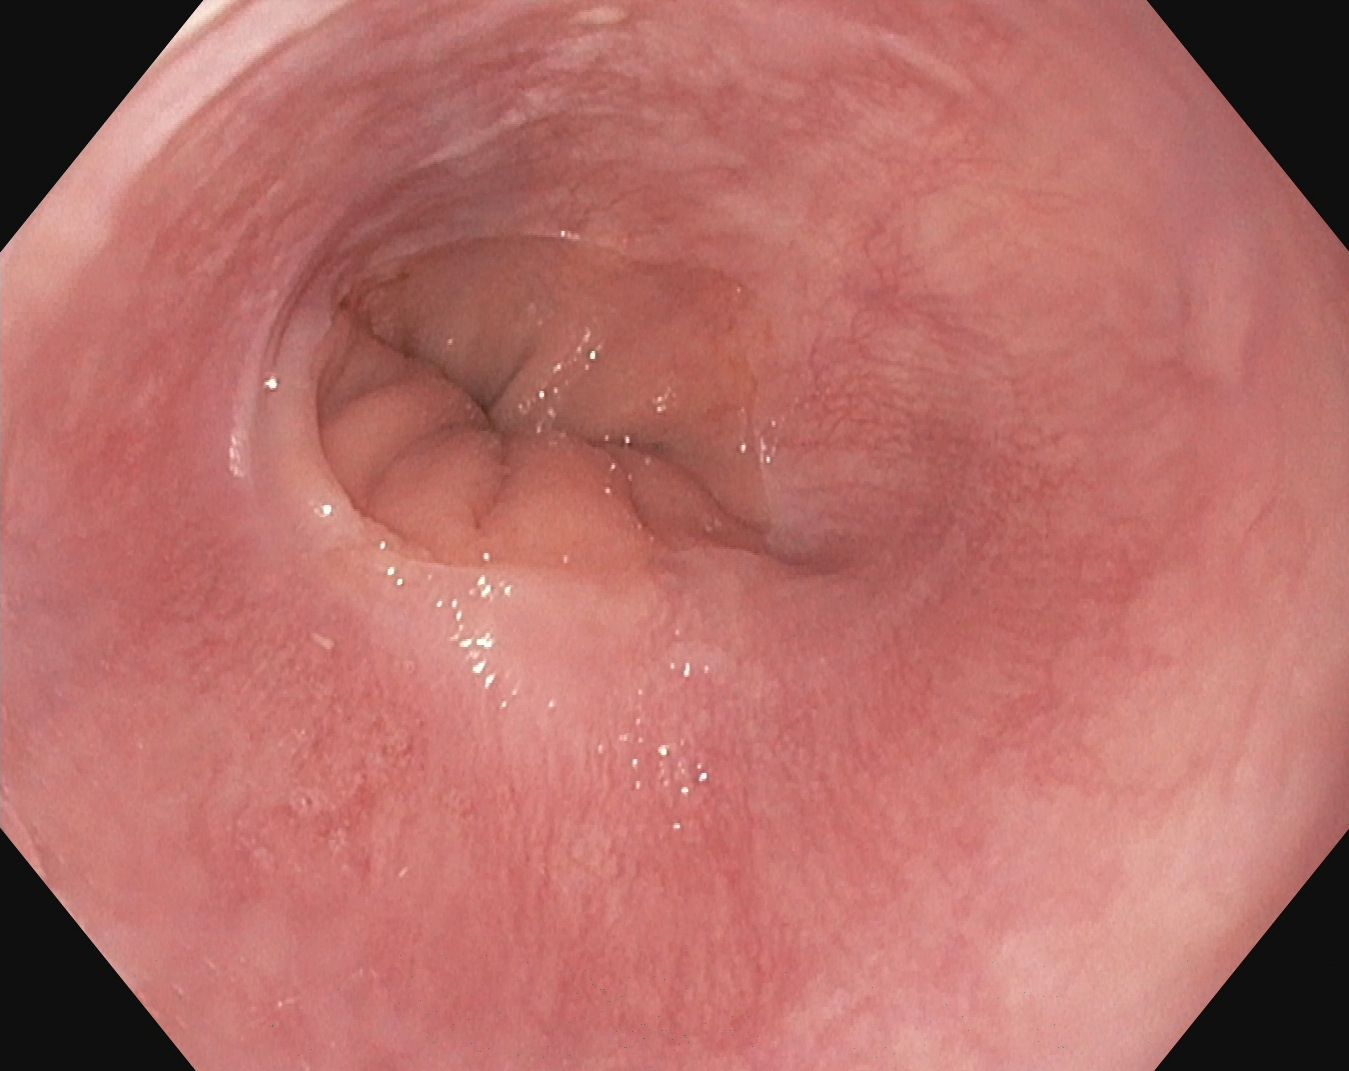This endoscopic image of the upper GI tract shows Z-line (gastroesophageal junction).